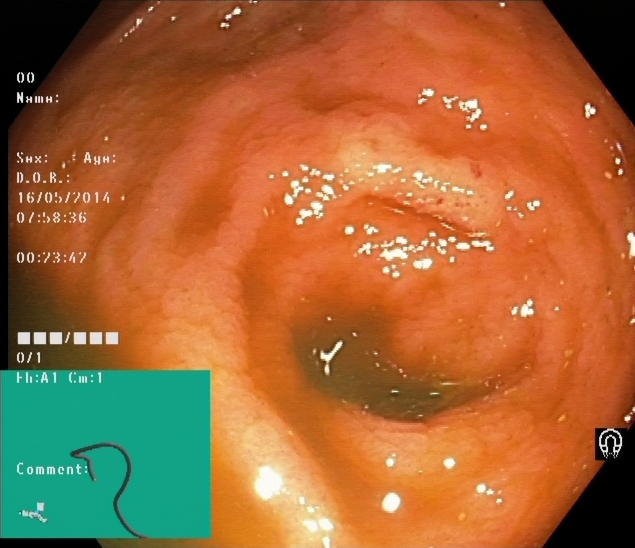{"modality": "lower-GI endoscopy", "tract": "lower GI tract", "category": "anatomical landmark", "finding": "cecum"}